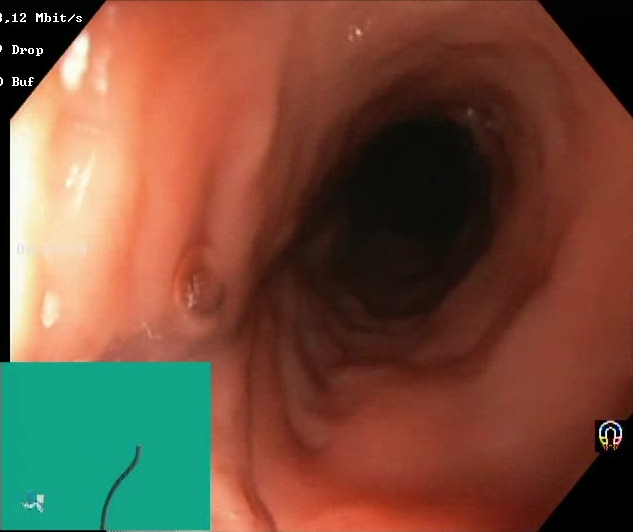This endoscopy frame of the lower GI tract shows Boston Bowel Preparation Scale score 2–3 (adequate preparation).